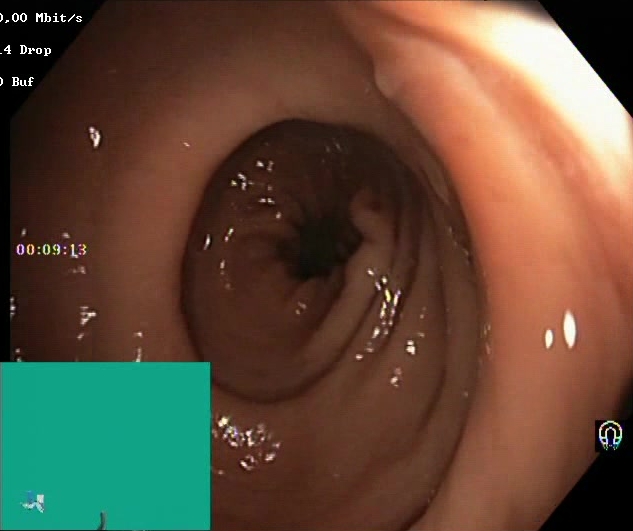Boston Bowel Preparation Scale score 2–3 (adequate preparation).